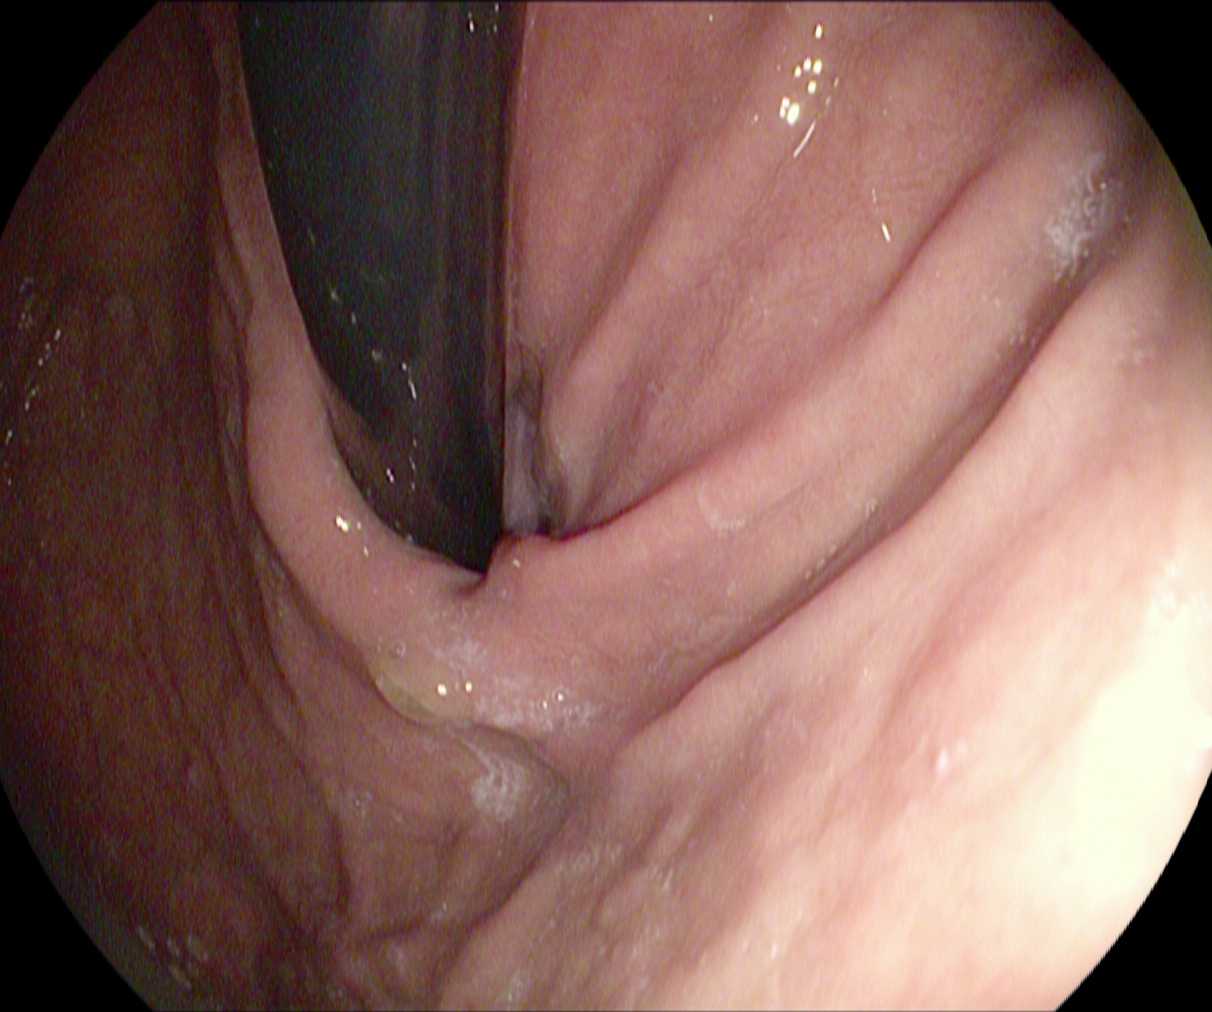Upper-GI endoscopy image of the upper GI tract showing stomach in retroflexion.